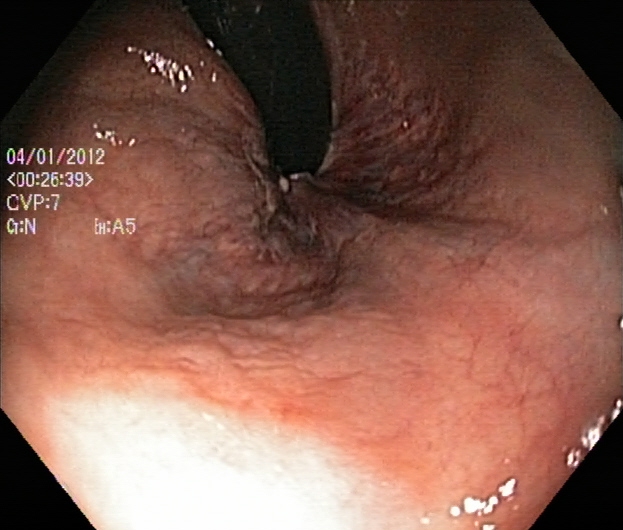modality: lower gastrointestinal endoscopy | tract: lower GI tract | category: anatomical landmark | finding: rectum in retroflexion